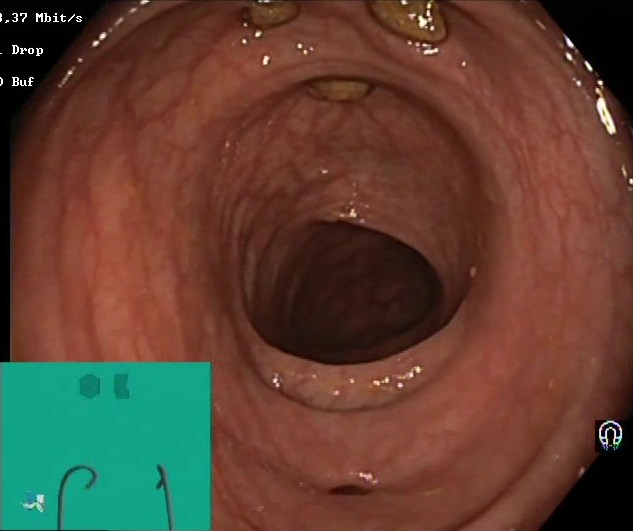This endoscopic image shows impacted stool.